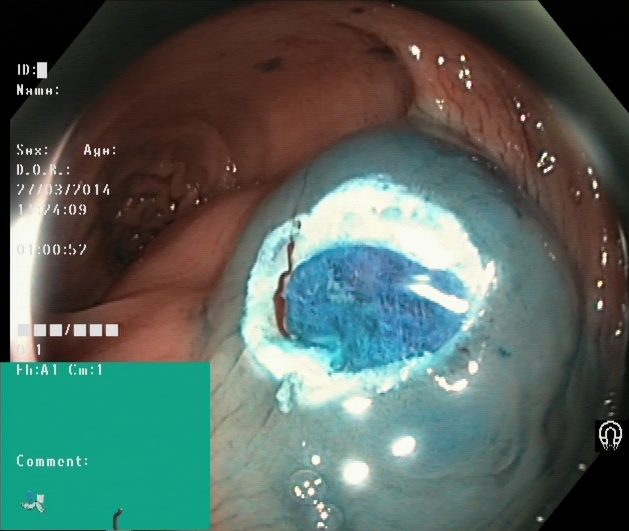PROCEDURE: Lower-GI endoscopy.
CATEGORY: Therapeutic intervention.
FINDINGS: Dyed resection margins (post-polypectomy).